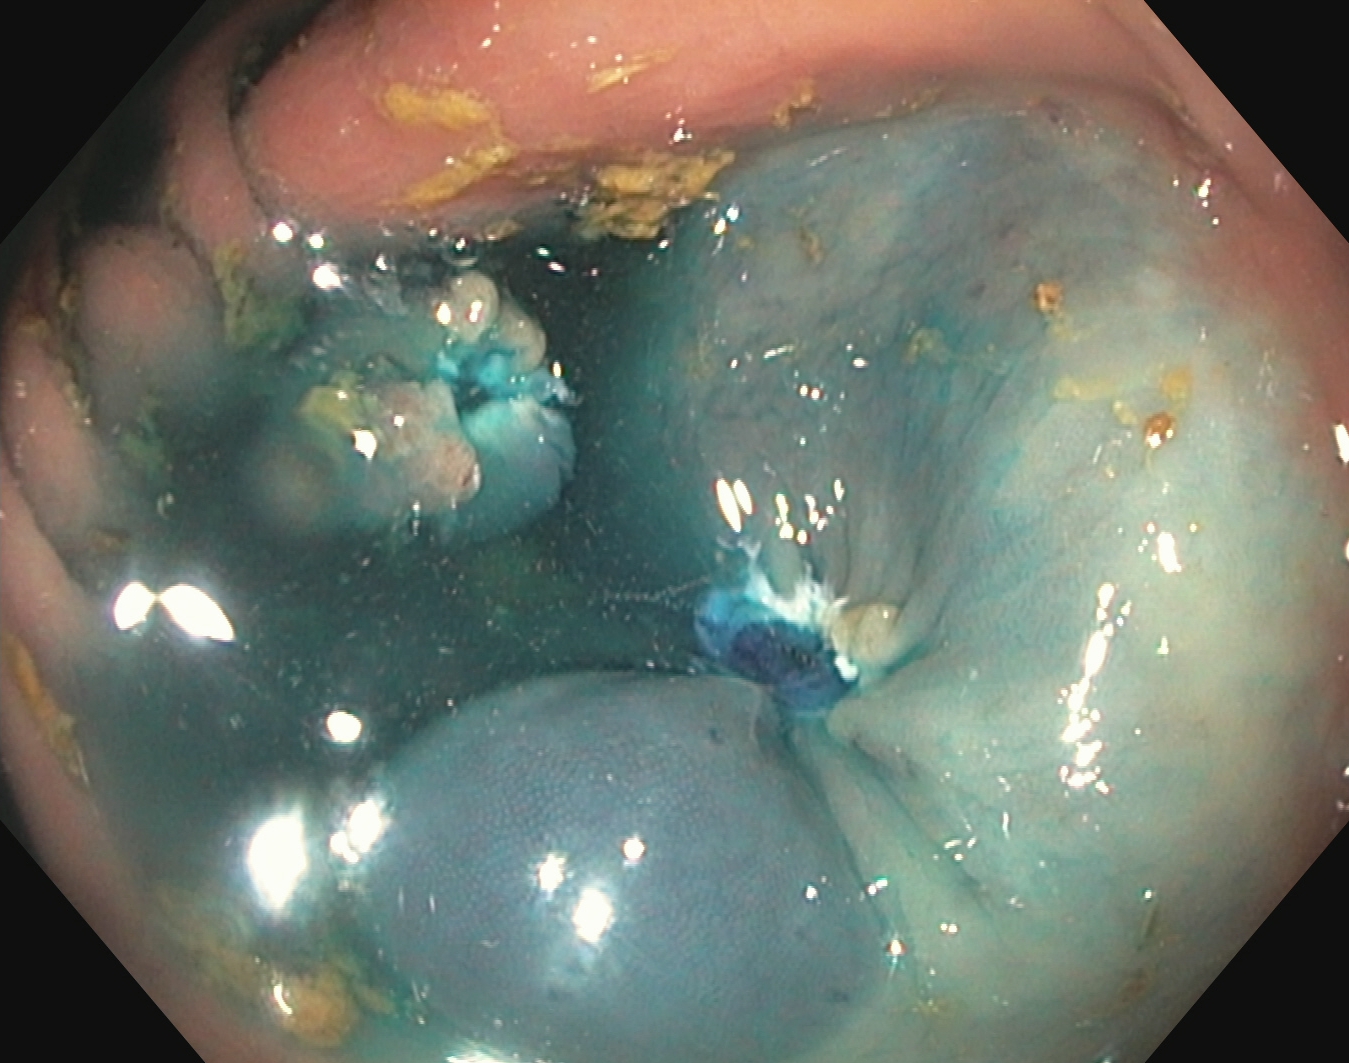Colonoscopy. Tract: lower GI tract. Finding: dyed resection margins (post-polypectomy).